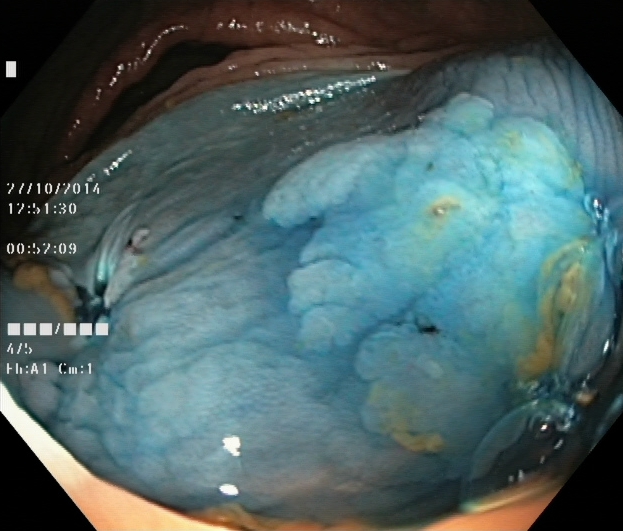modality: lower-GI endoscopy; tract: lower GI tract; finding: dyed and lifted polyp (pre-resection)